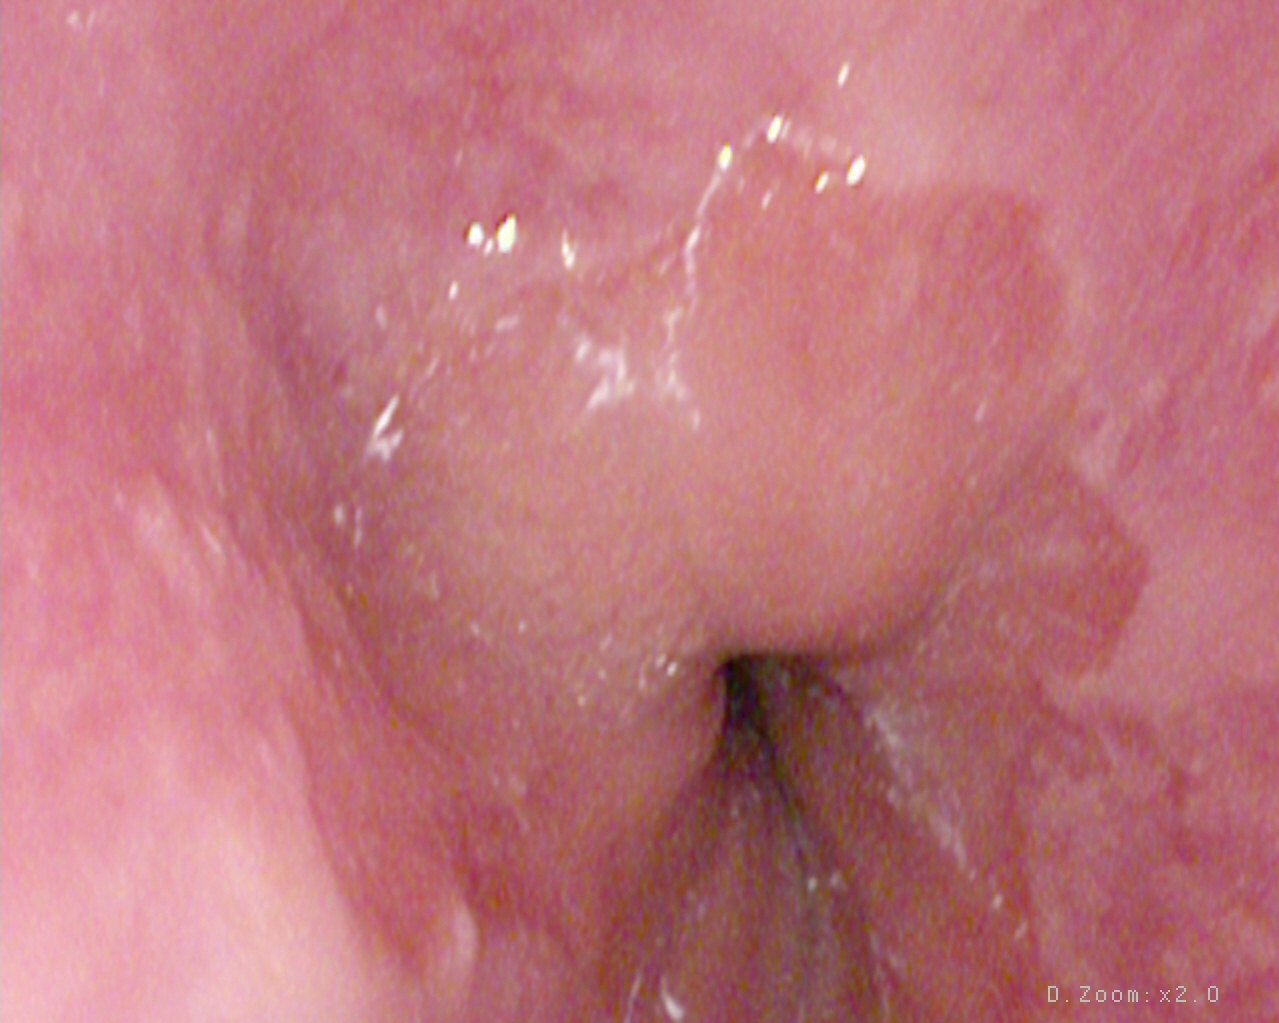GI endoscopy image showing Z-line (gastroesophageal junction).